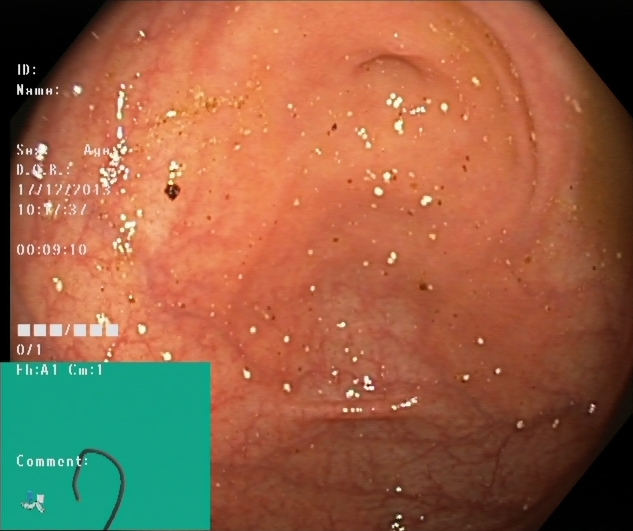Cecum.